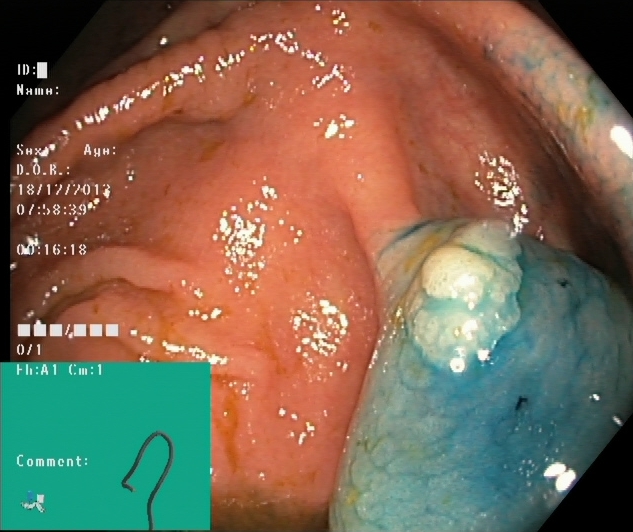Lower gastrointestinal endoscopy. Therapeutic intervention. Finding: dyed and lifted polyp (pre-resection).